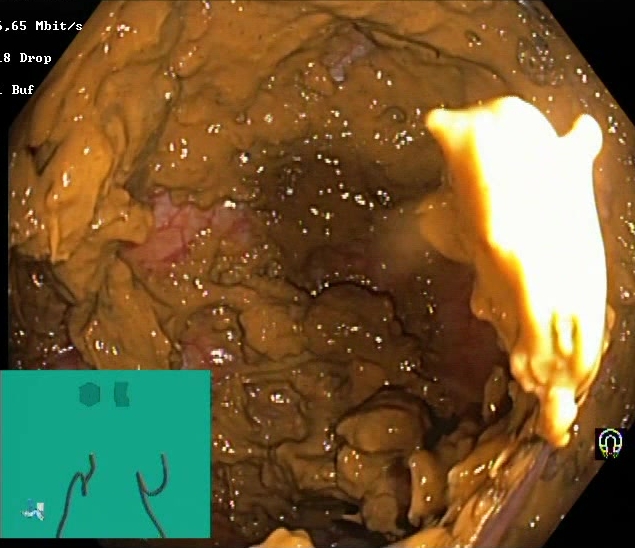Lower-GI endoscopy image showing Boston Bowel Preparation Scale score 0–1 (inadequate preparation).